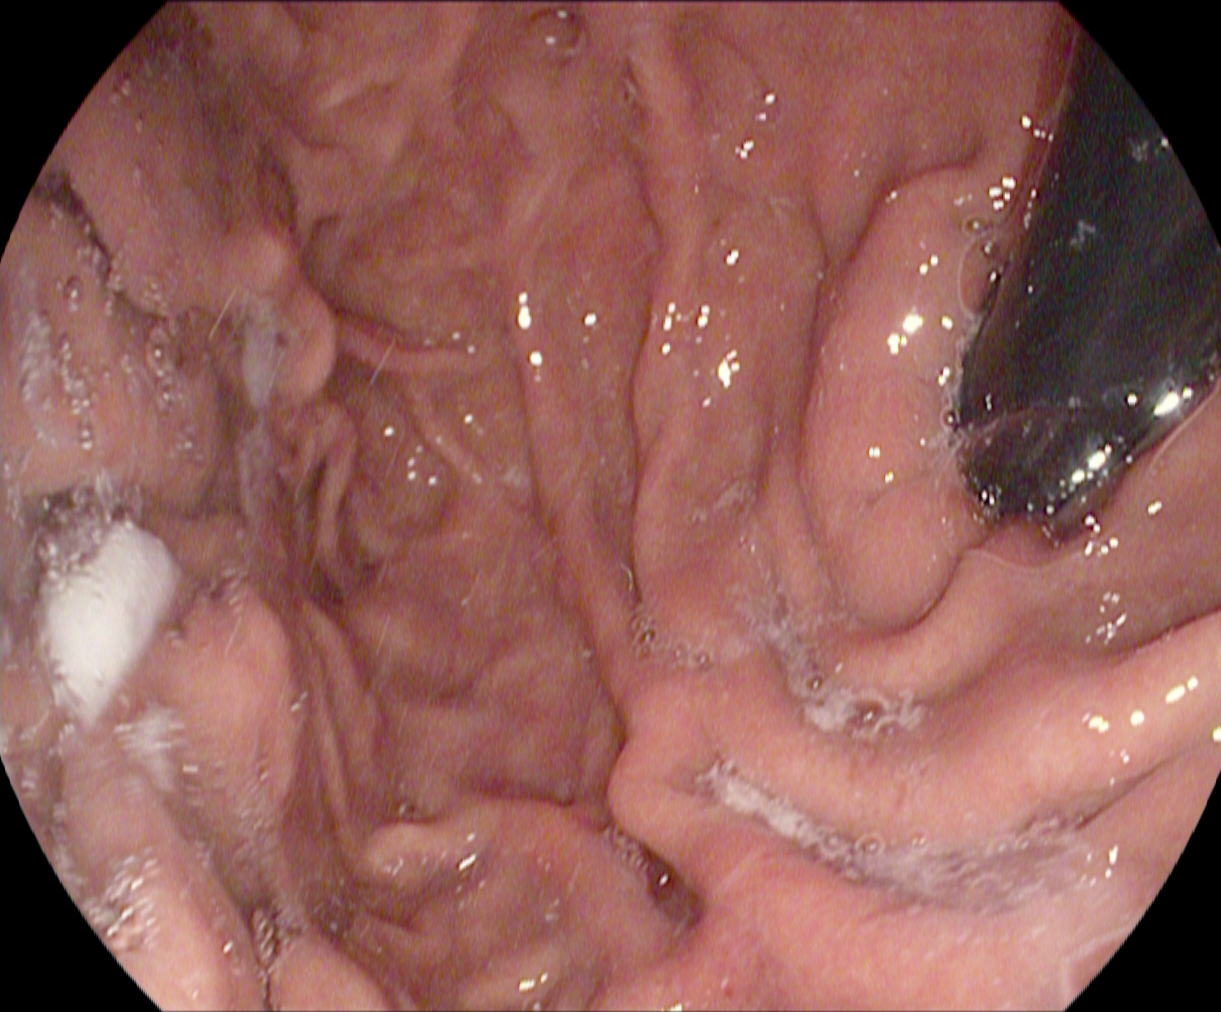This endoscopic image of the upper GI tract shows stomach in retroflexion.